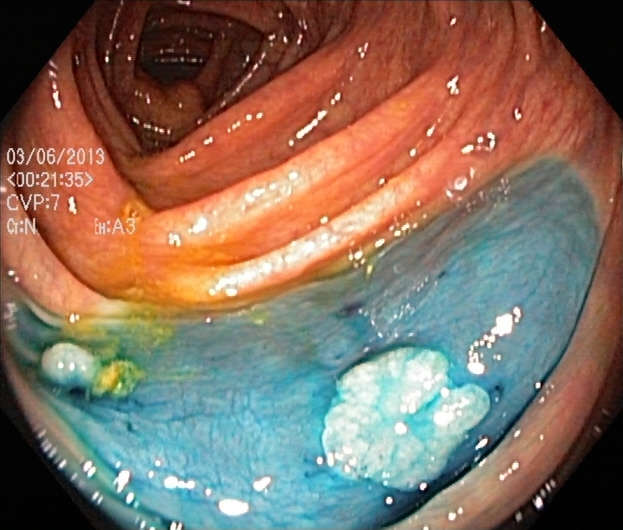Gastrointestinal endoscopy image of the lower GI tract showing dyed and lifted polyp (pre-resection).